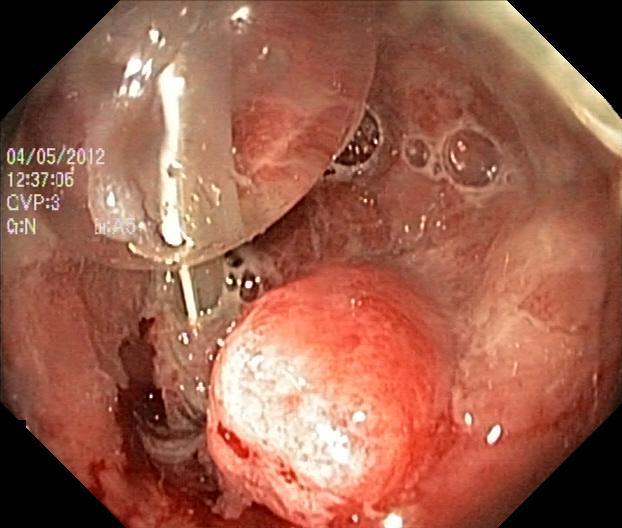Colorectal polyp(s).